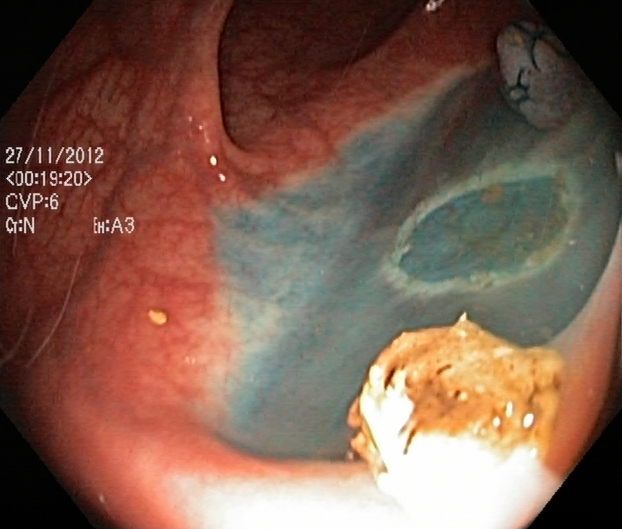{"modality": "lower-GI endoscopy", "finding": "dyed resection margins (post-polypectomy)"}